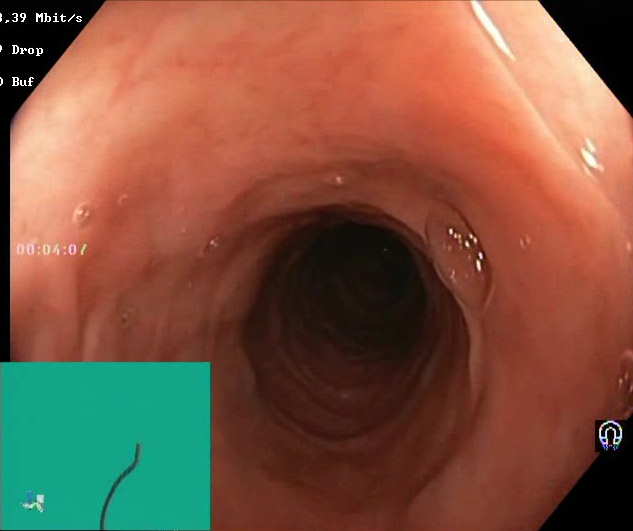modality: lower gastrointestinal endoscopy
tract: lower GI tract
category: mucosal-view quality
finding: Boston Bowel Preparation Scale score 2–3 (adequate preparation)